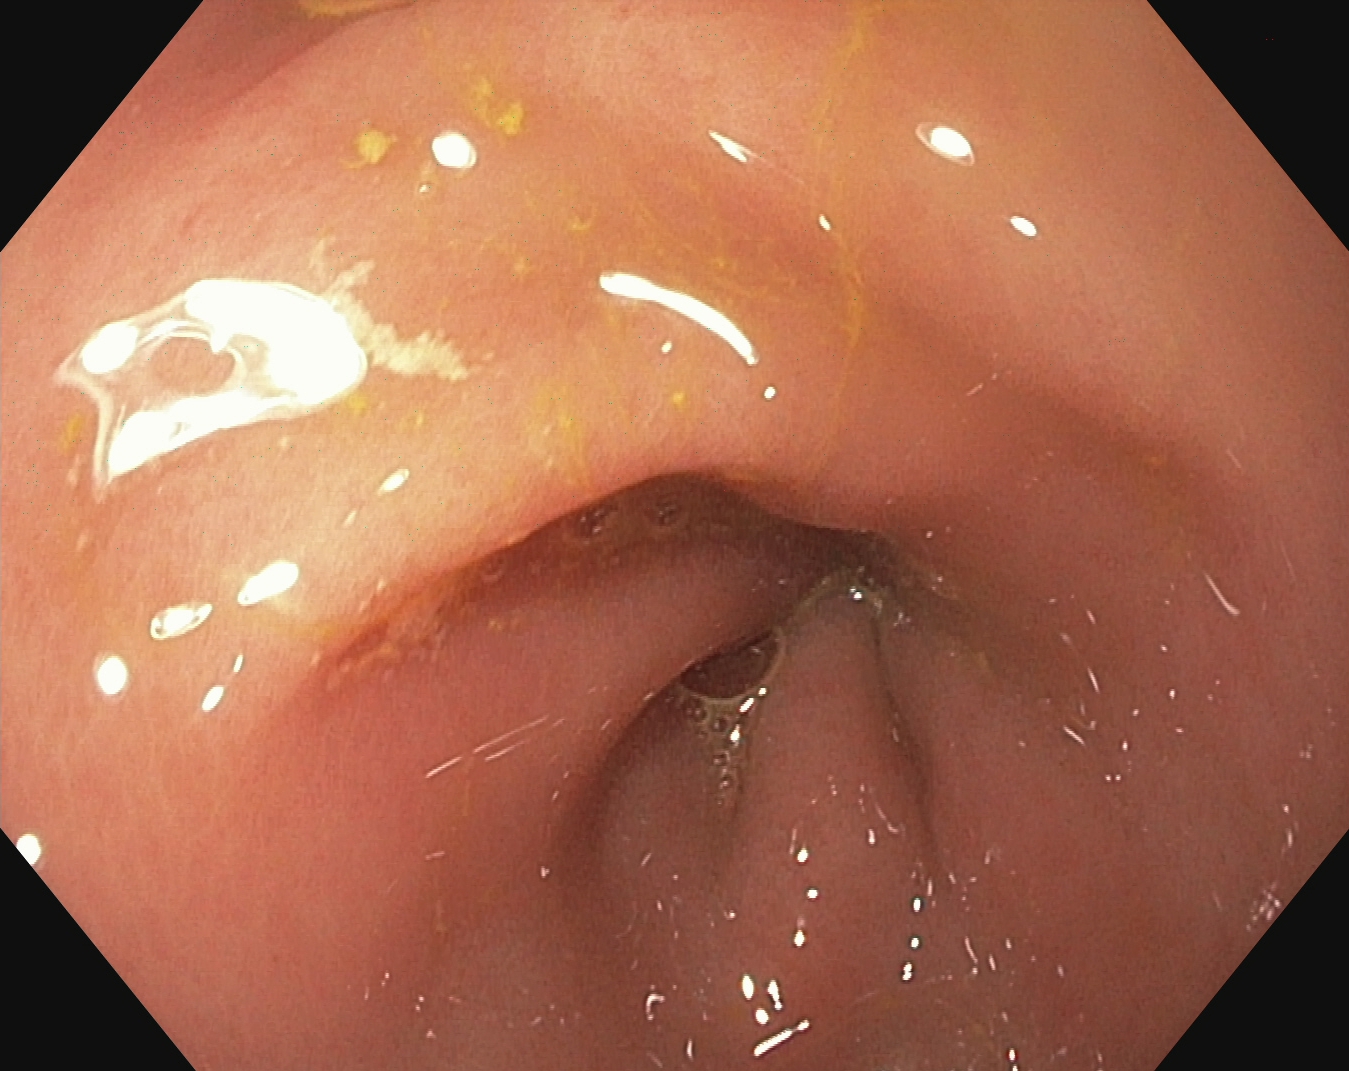Pylorus.